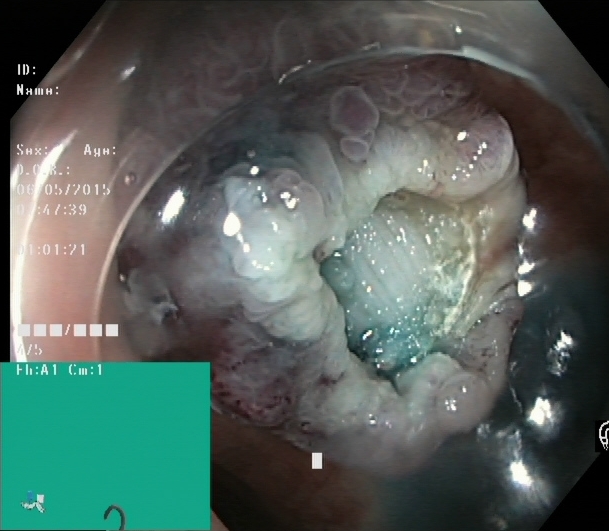GI endoscopy image of the lower GI tract showing dyed resection margins (post-polypectomy).